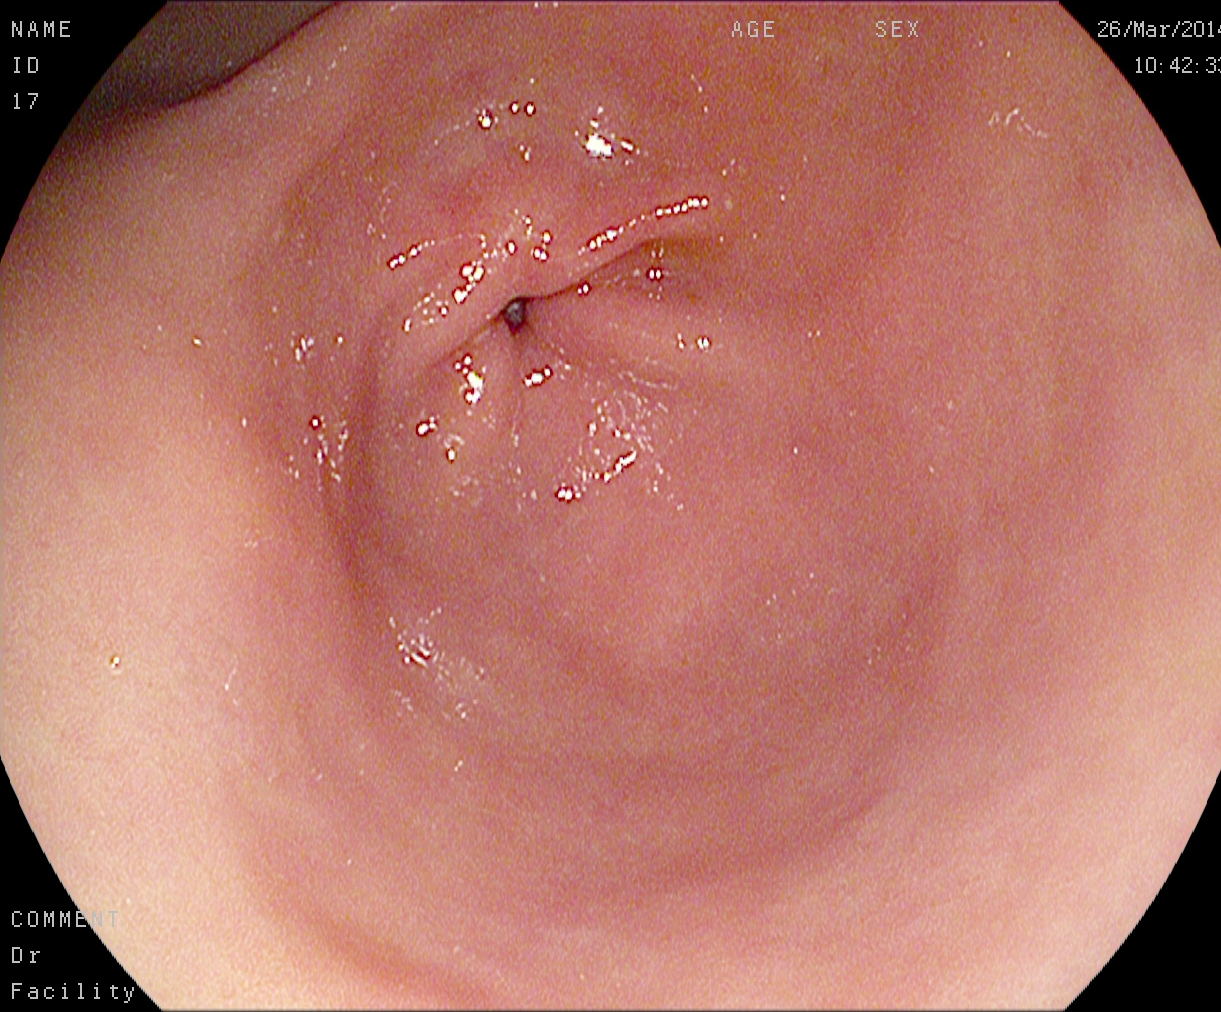modality: esophagogastroduodenoscopy
tract: upper GI tract
category: anatomical landmark
finding: pylorus